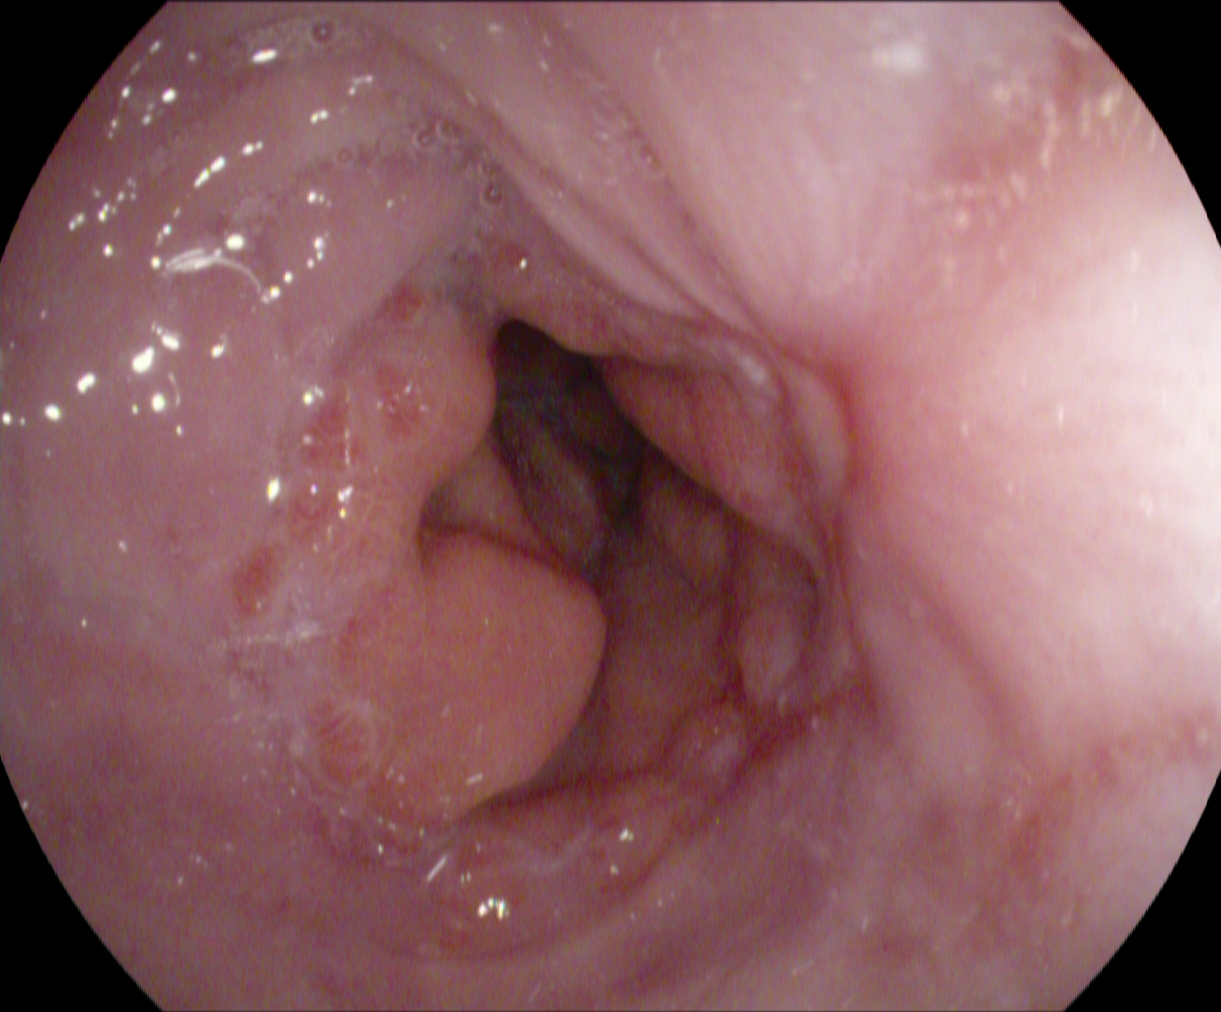PROCEDURE: Gastroscopy.
CATEGORY: Pathological finding.
FINDINGS: Reflux esophagitis, Los Angeles grade A.